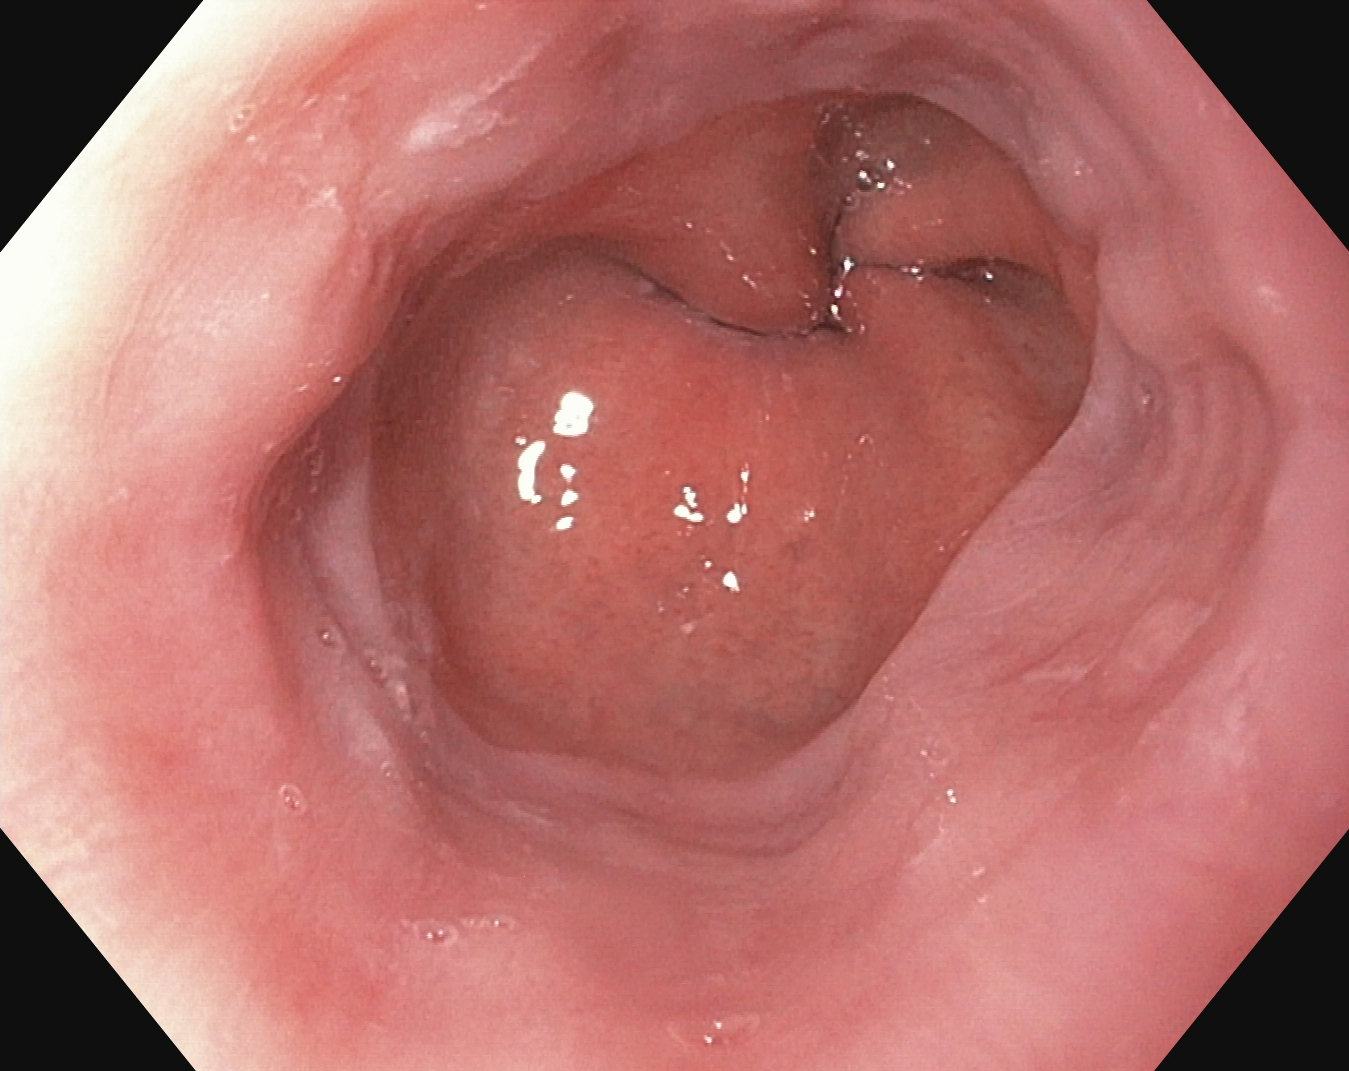PROCEDURE: Upper-GI endoscopy.
FINDINGS: Z-line (gastroesophageal junction).